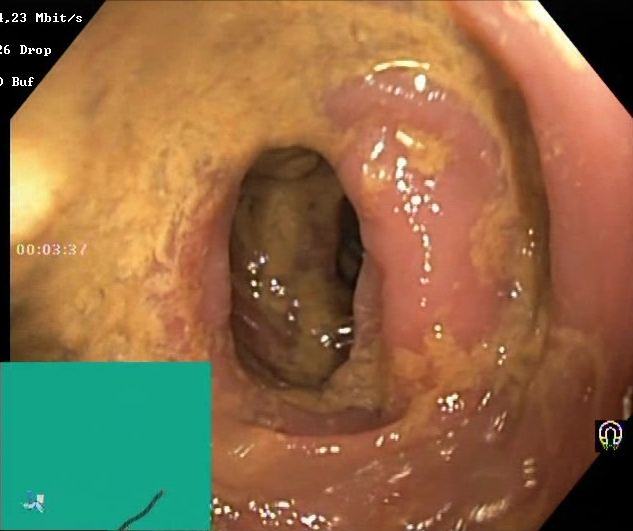Gastrointestinal endoscopy image showing Boston Bowel Preparation Scale score 0–1 (inadequate preparation).